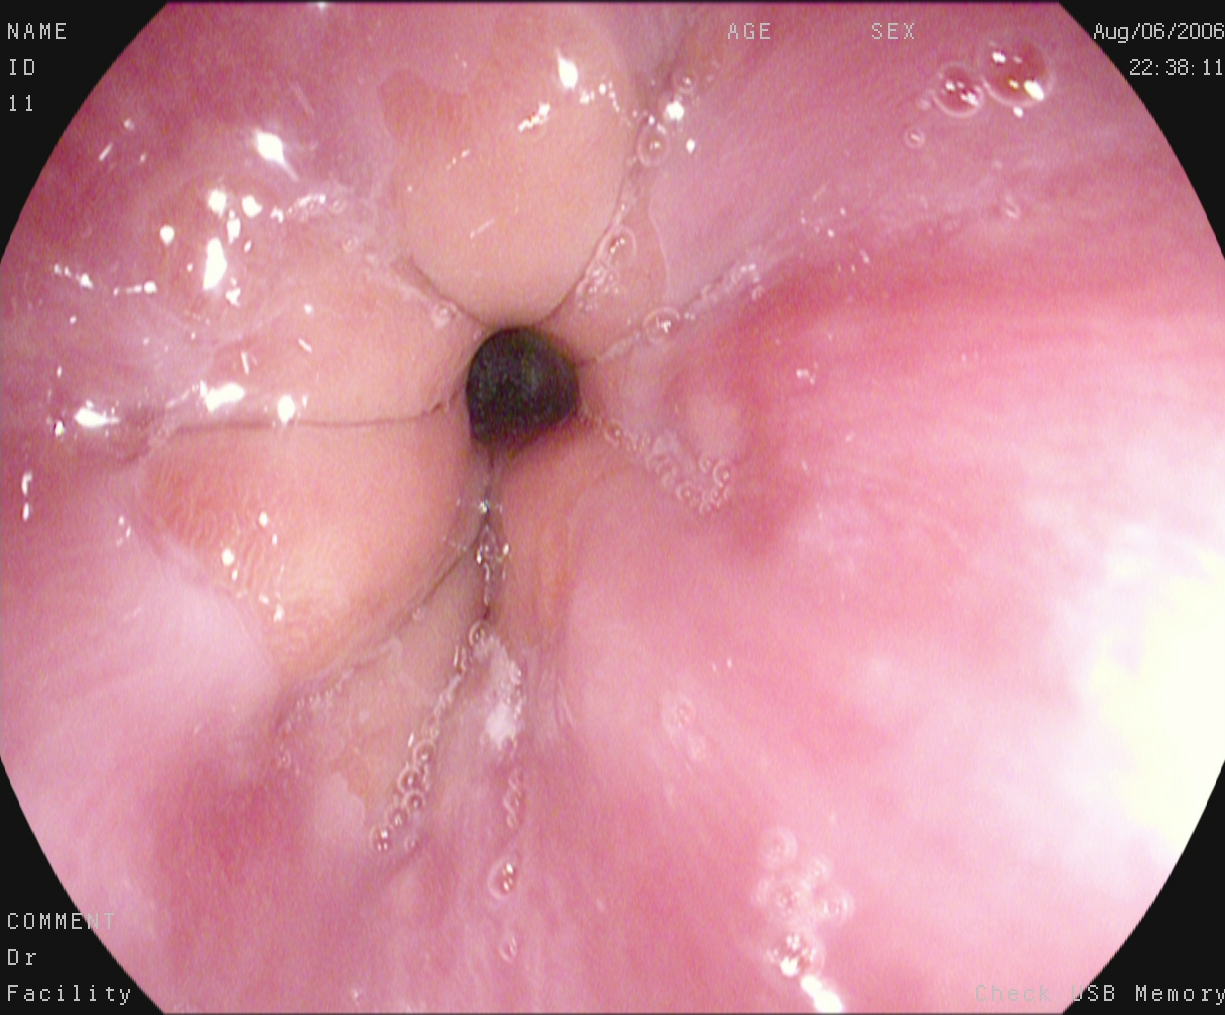This endoscopic image shows Z-line (gastroesophageal junction).